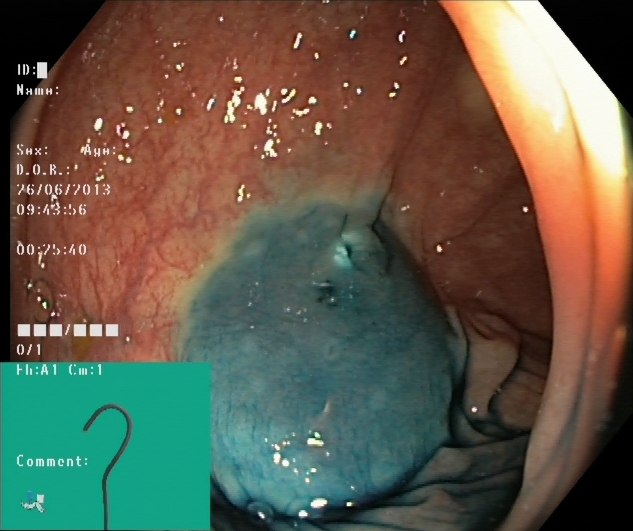modality: lower-GI endoscopy | tract: lower GI tract | category: therapeutic intervention | finding: dyed resection margins (post-polypectomy)